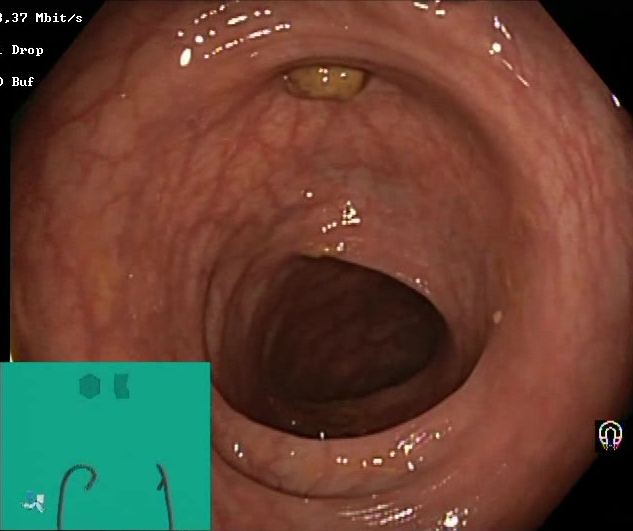Endoscopic frame showing impacted stool.